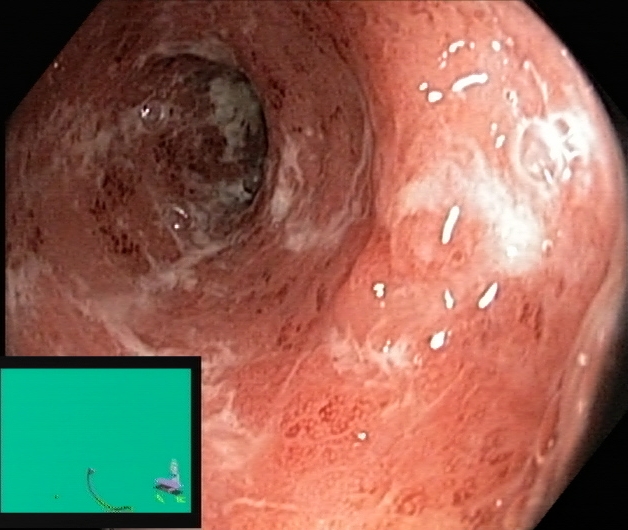Colonoscopy. Tract: lower GI tract. Finding: ulcerative colitis, Mayo endoscopic subscore 2.